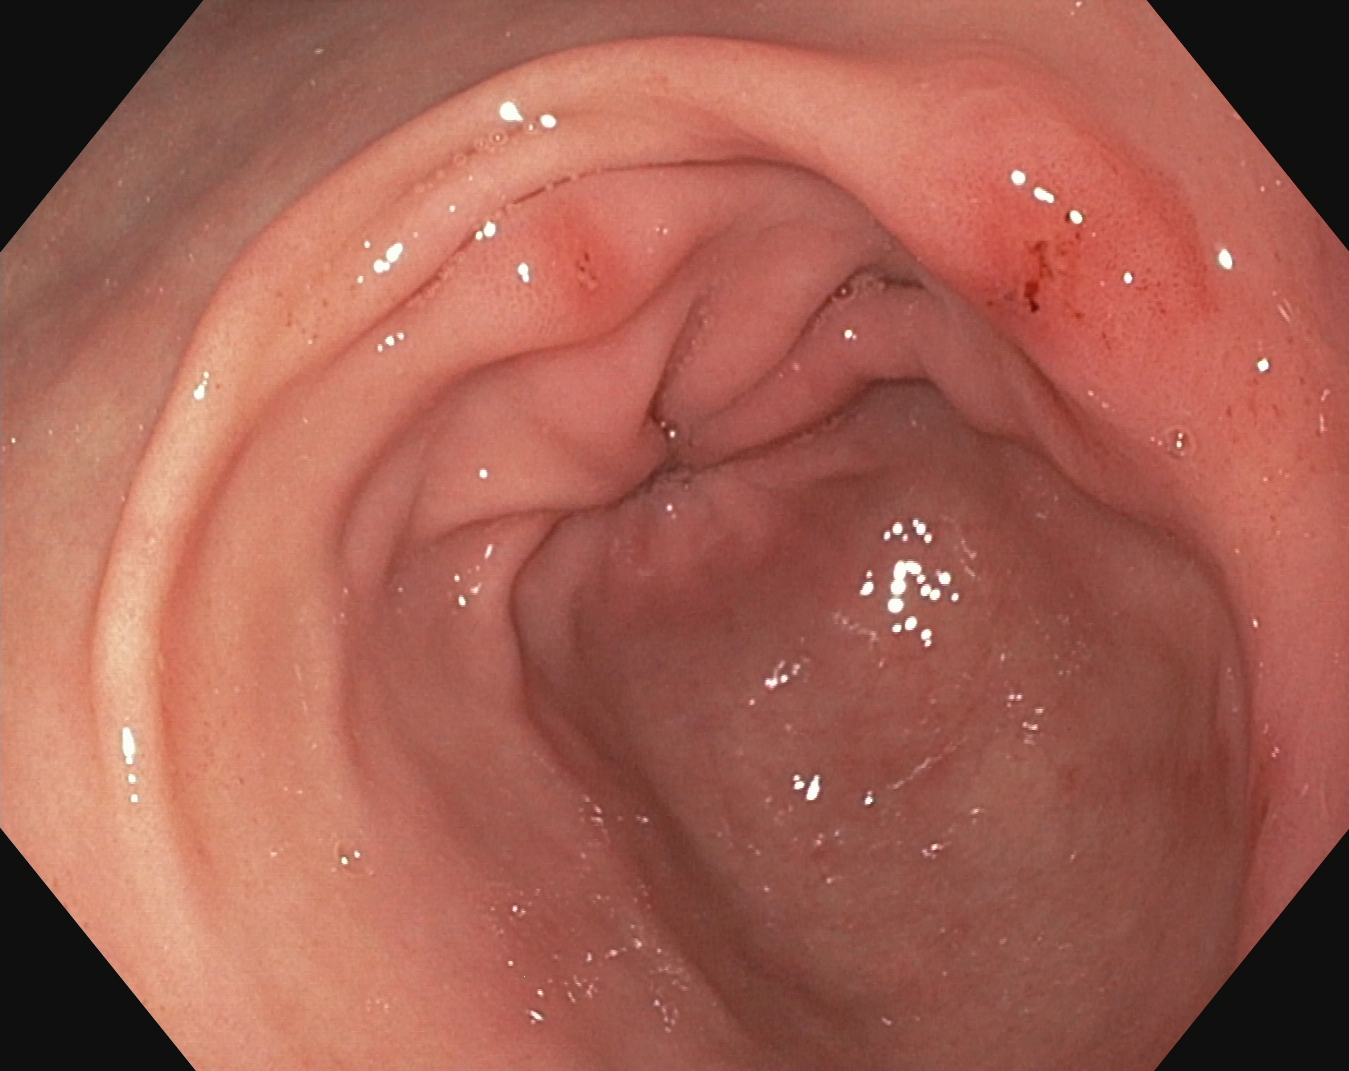PROCEDURE: EGD.
CATEGORY: Anatomical landmark.
FINDINGS: Pylorus.